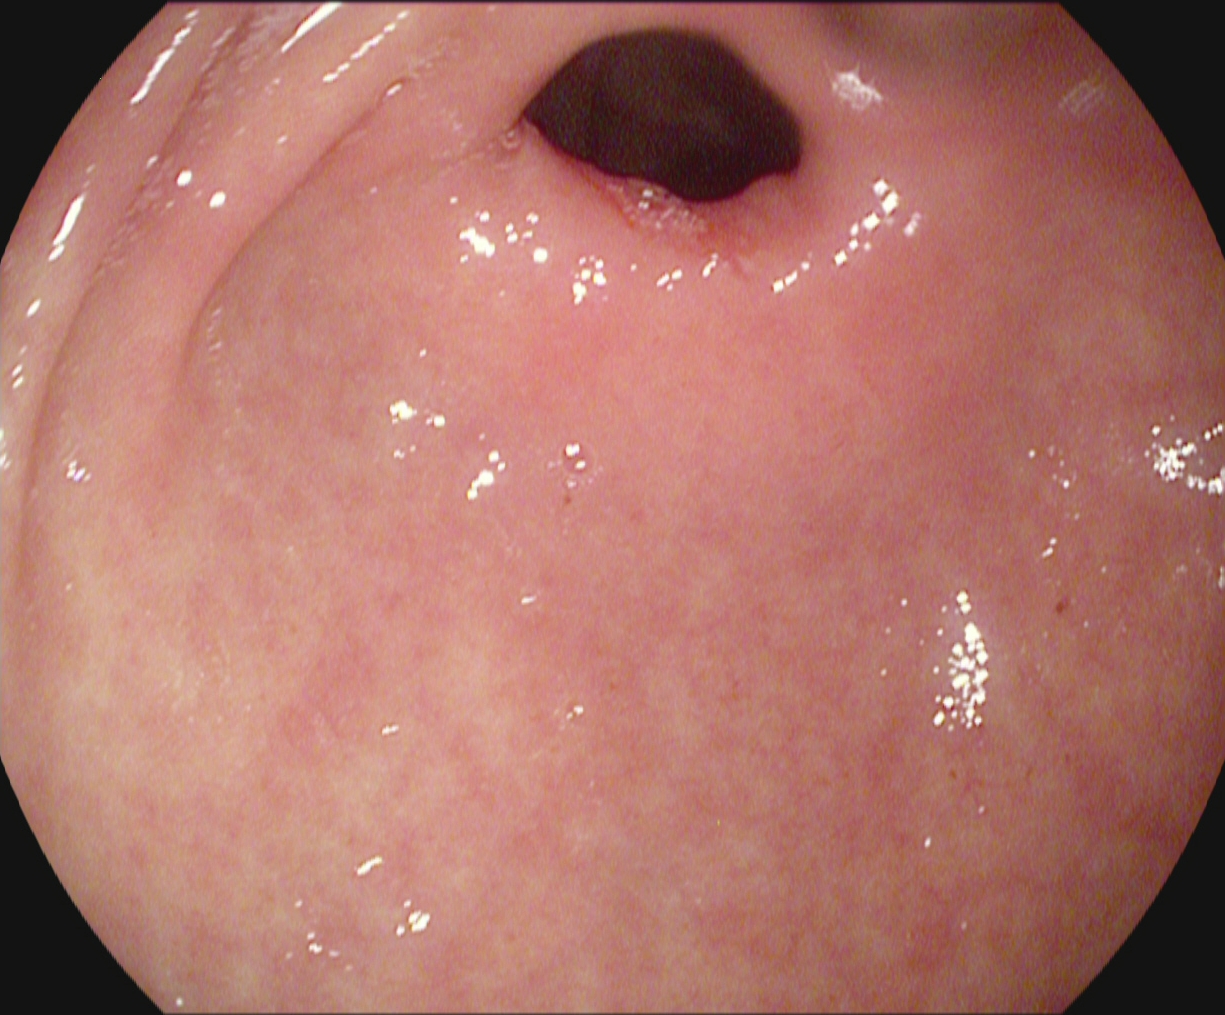{"modality": "esophagogastroduodenoscopy", "tract": "upper GI tract", "category": "anatomical landmark", "finding": "pylorus"}